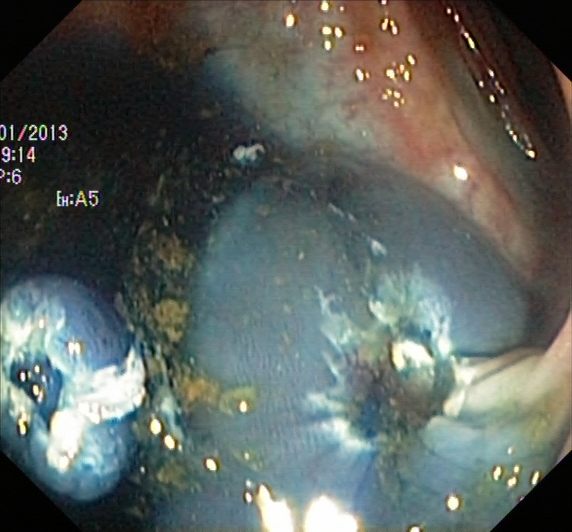Endoscopic frame of the lower GI tract showing dyed resection margins (post-polypectomy).